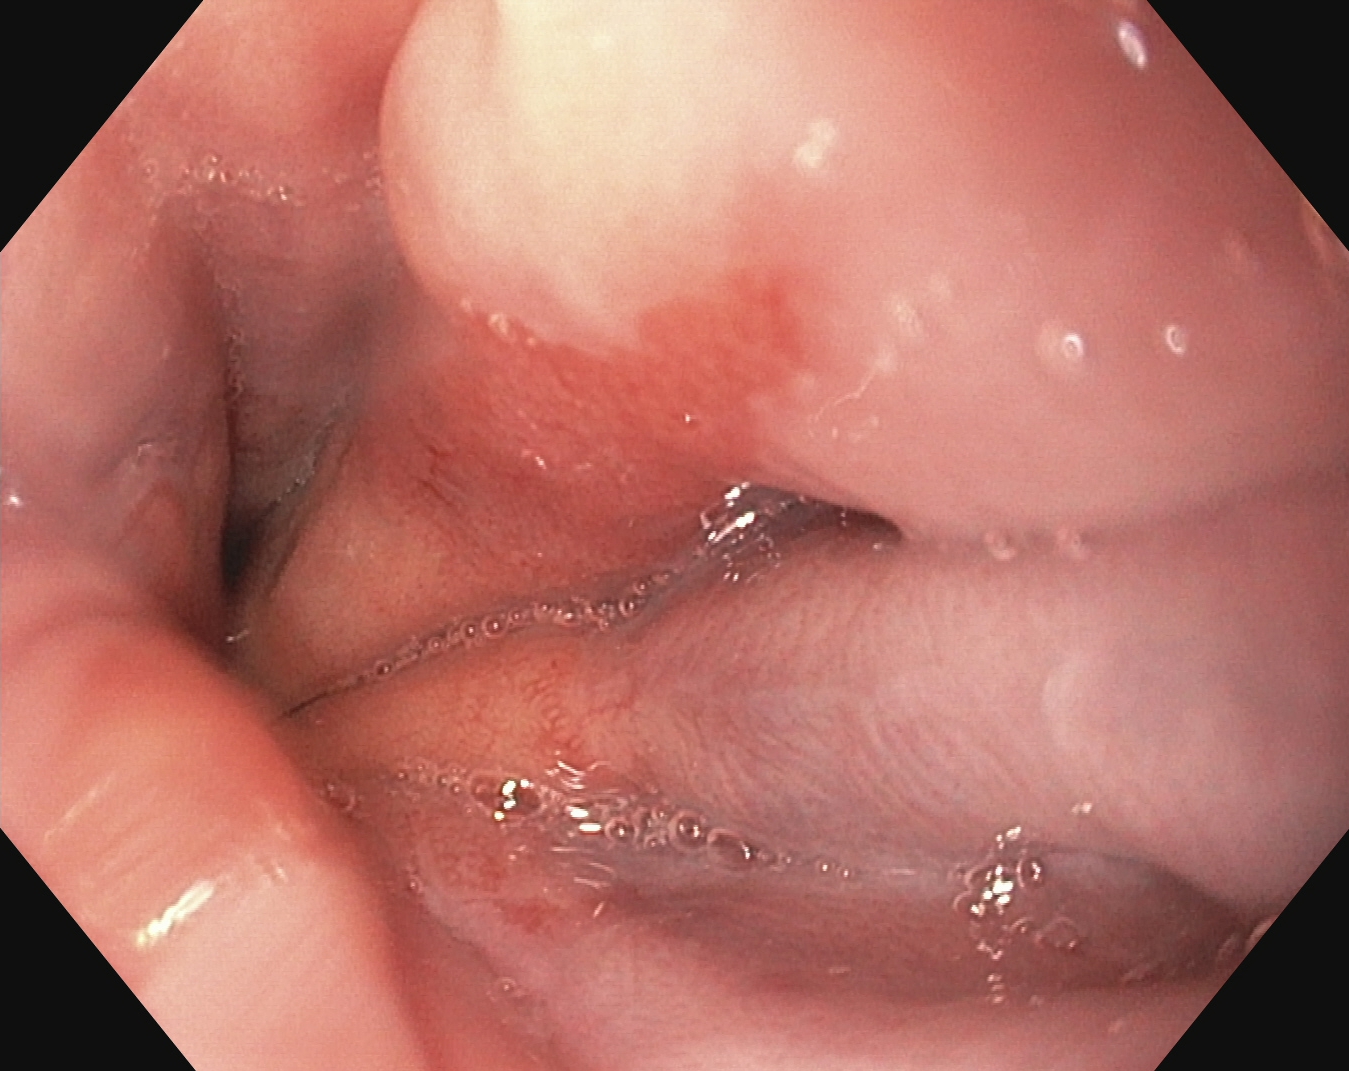Upper-GI endoscopy — reflux esophagitis, Los Angeles grade A.